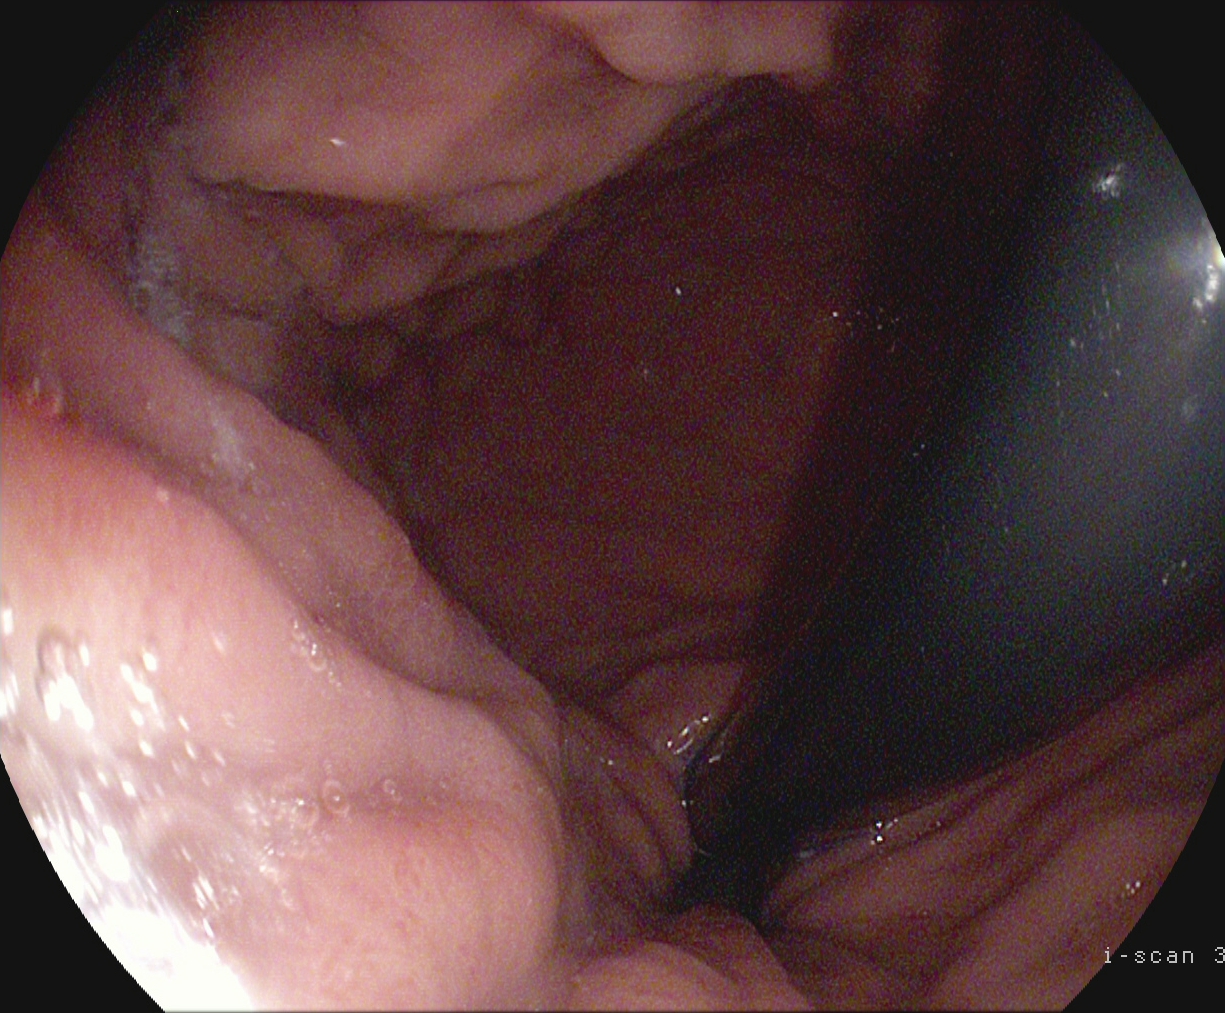Esophagogastroduodenoscopy. Anatomical landmark. Finding: stomach in retroflexion.